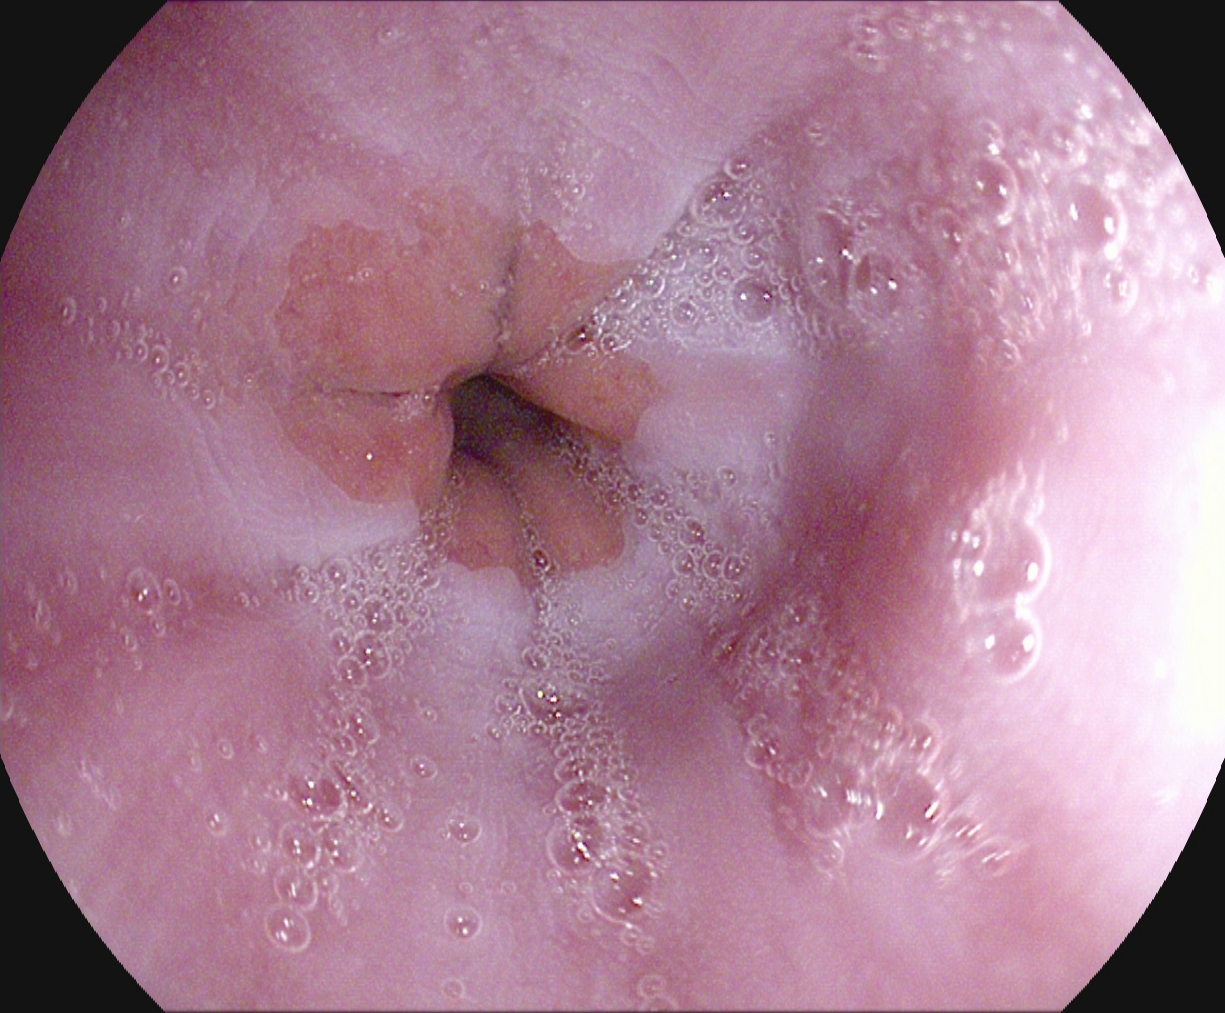PROCEDURE: EGD.
FINDINGS: Z-line (gastroesophageal junction).